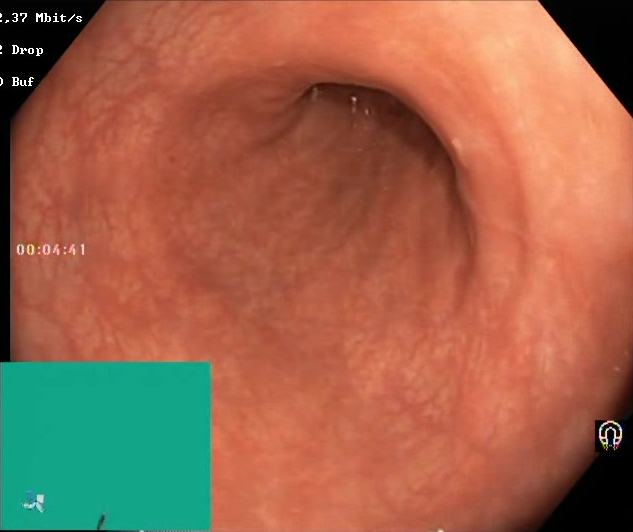BBPS score 2–3 (adequate preparation).